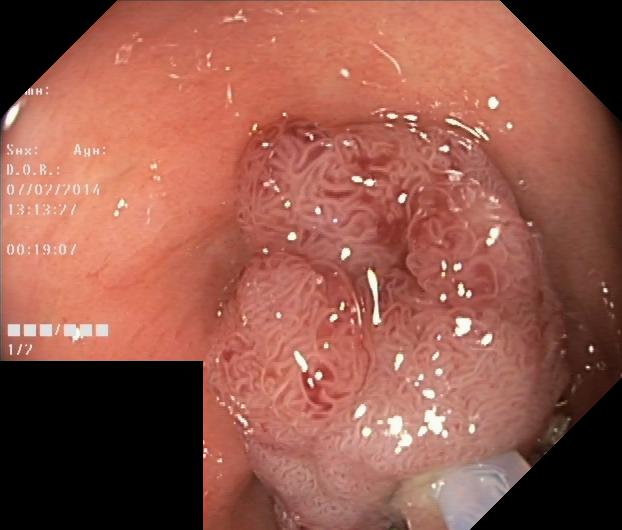{"modality": "lower-GI endoscopy", "tract": "lower GI tract", "finding": "colorectal polyp(s)"}